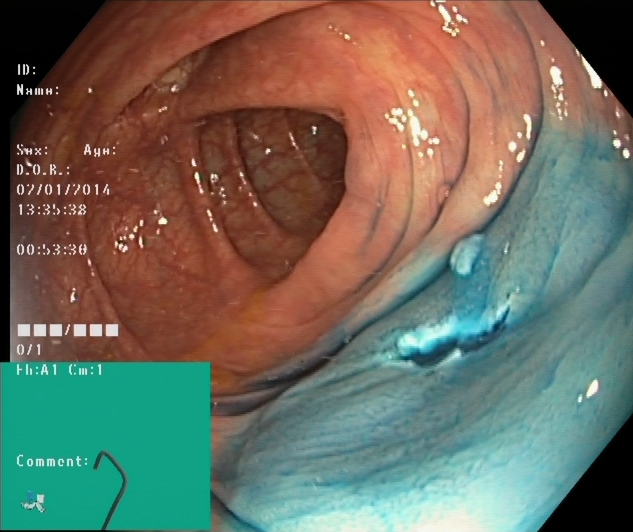Dyed resection margins (post-polypectomy).